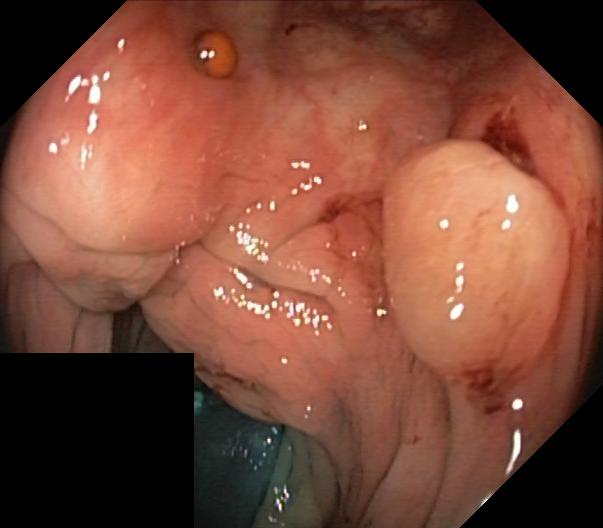{"modality": "colonoscopy", "tract": "lower GI tract", "category": "pathological finding", "finding": "colorectal polyp(s)"}